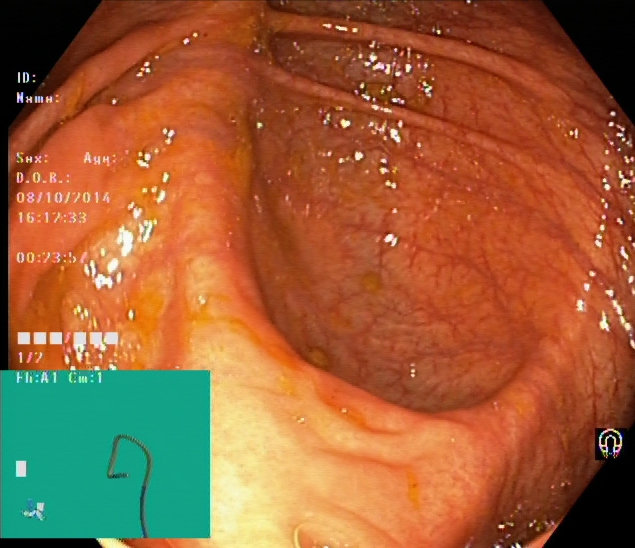modality: colonoscopy | tract: lower GI tract | finding: cecum